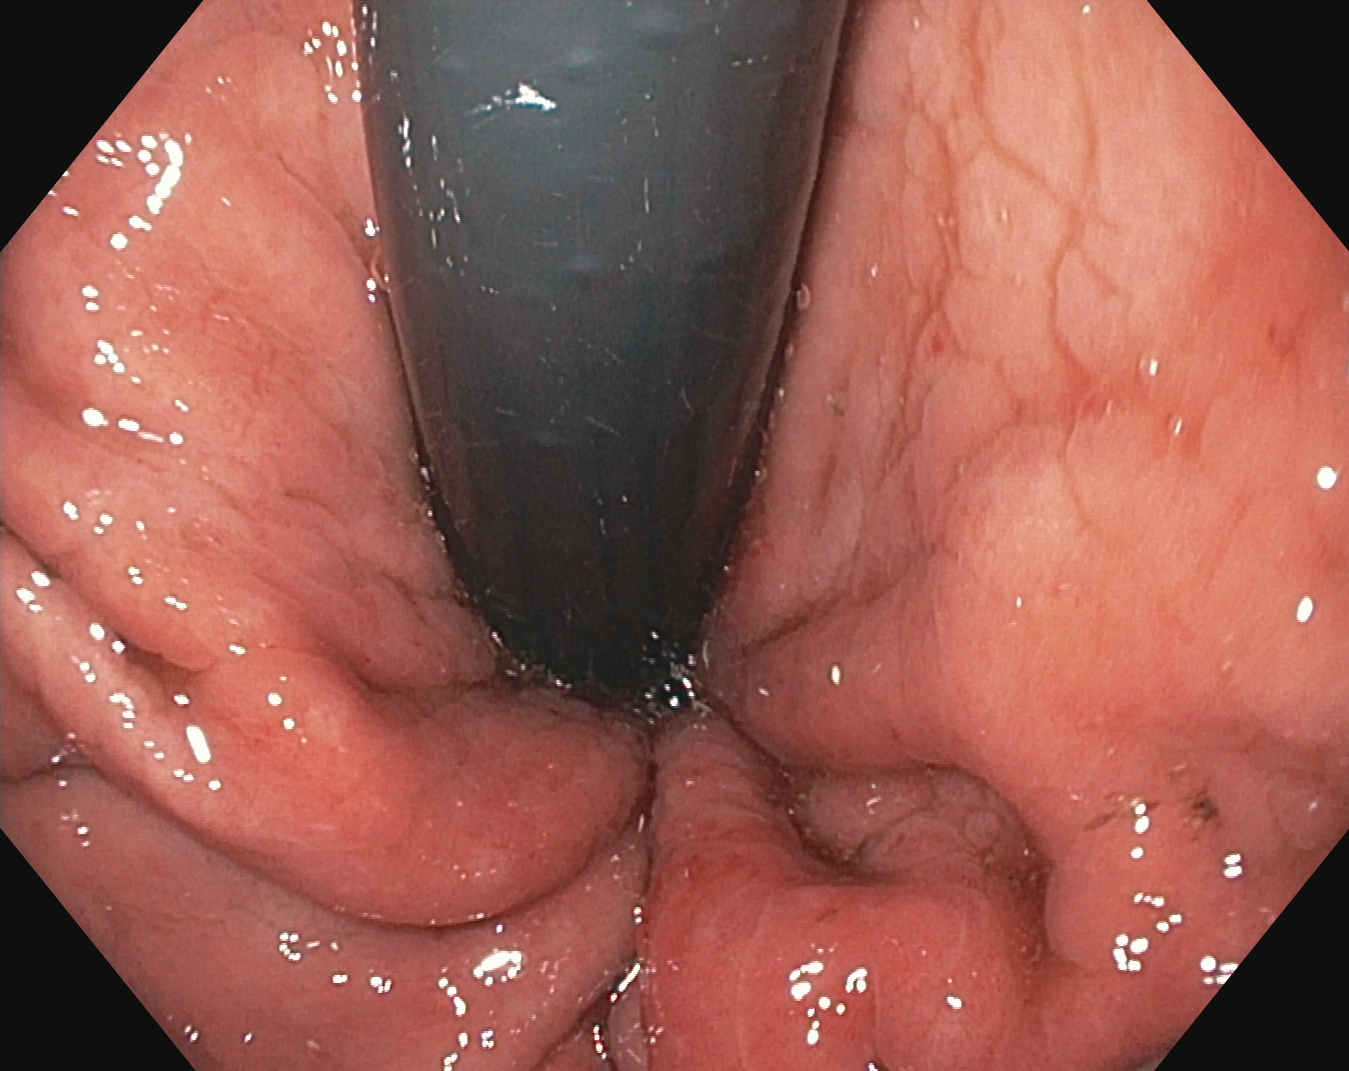PROCEDURE: Gastroscopy.
CATEGORY: Anatomical landmark.
FINDINGS: Stomach in retroflexion.